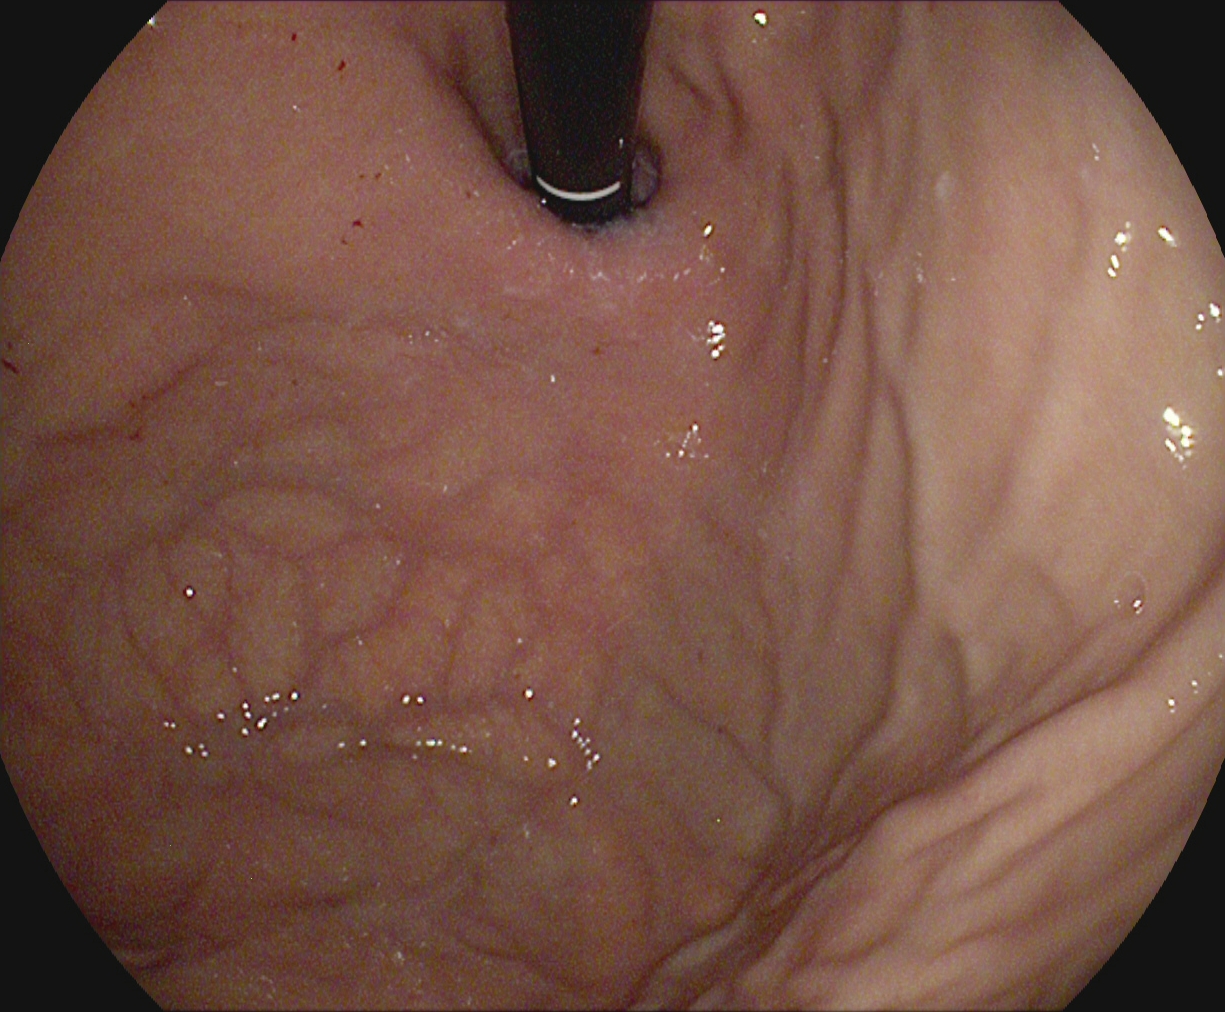Esophagogastroduodenoscopy — stomach in retroflexion.